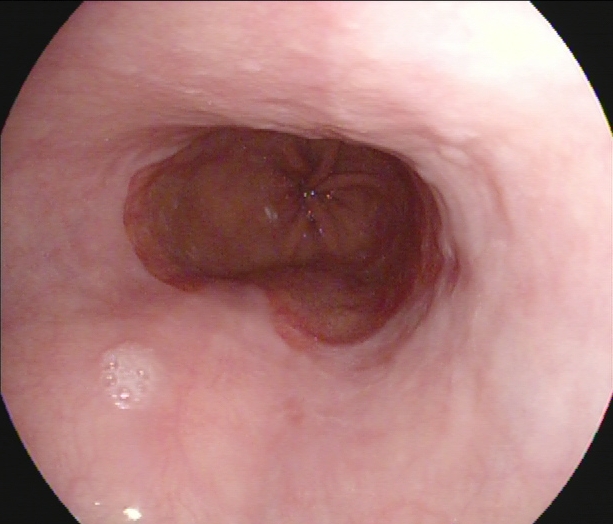Reflux esophagitis, LA grade A.